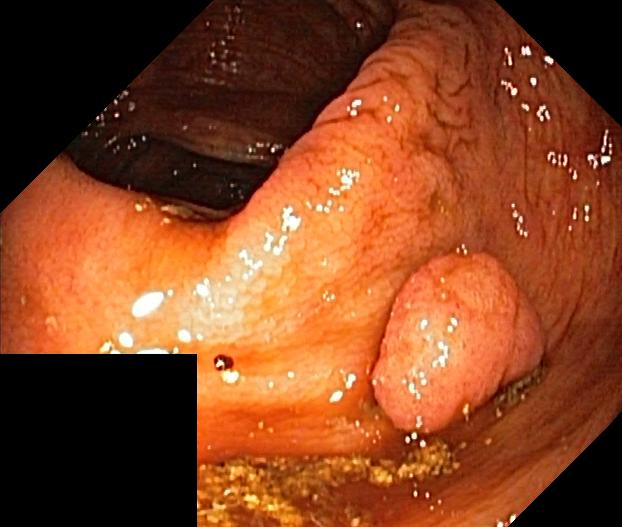{"modality": "lower-GI endoscopy", "tract": "lower GI tract", "finding": "colorectal polyp(s)"}